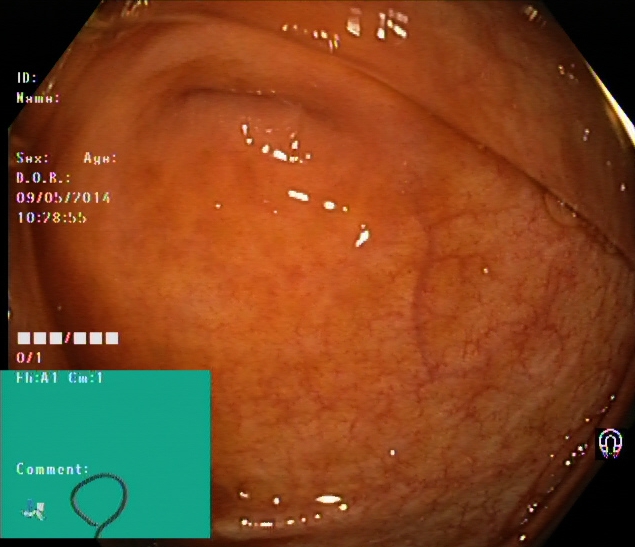Endoscopic frame showing cecum.